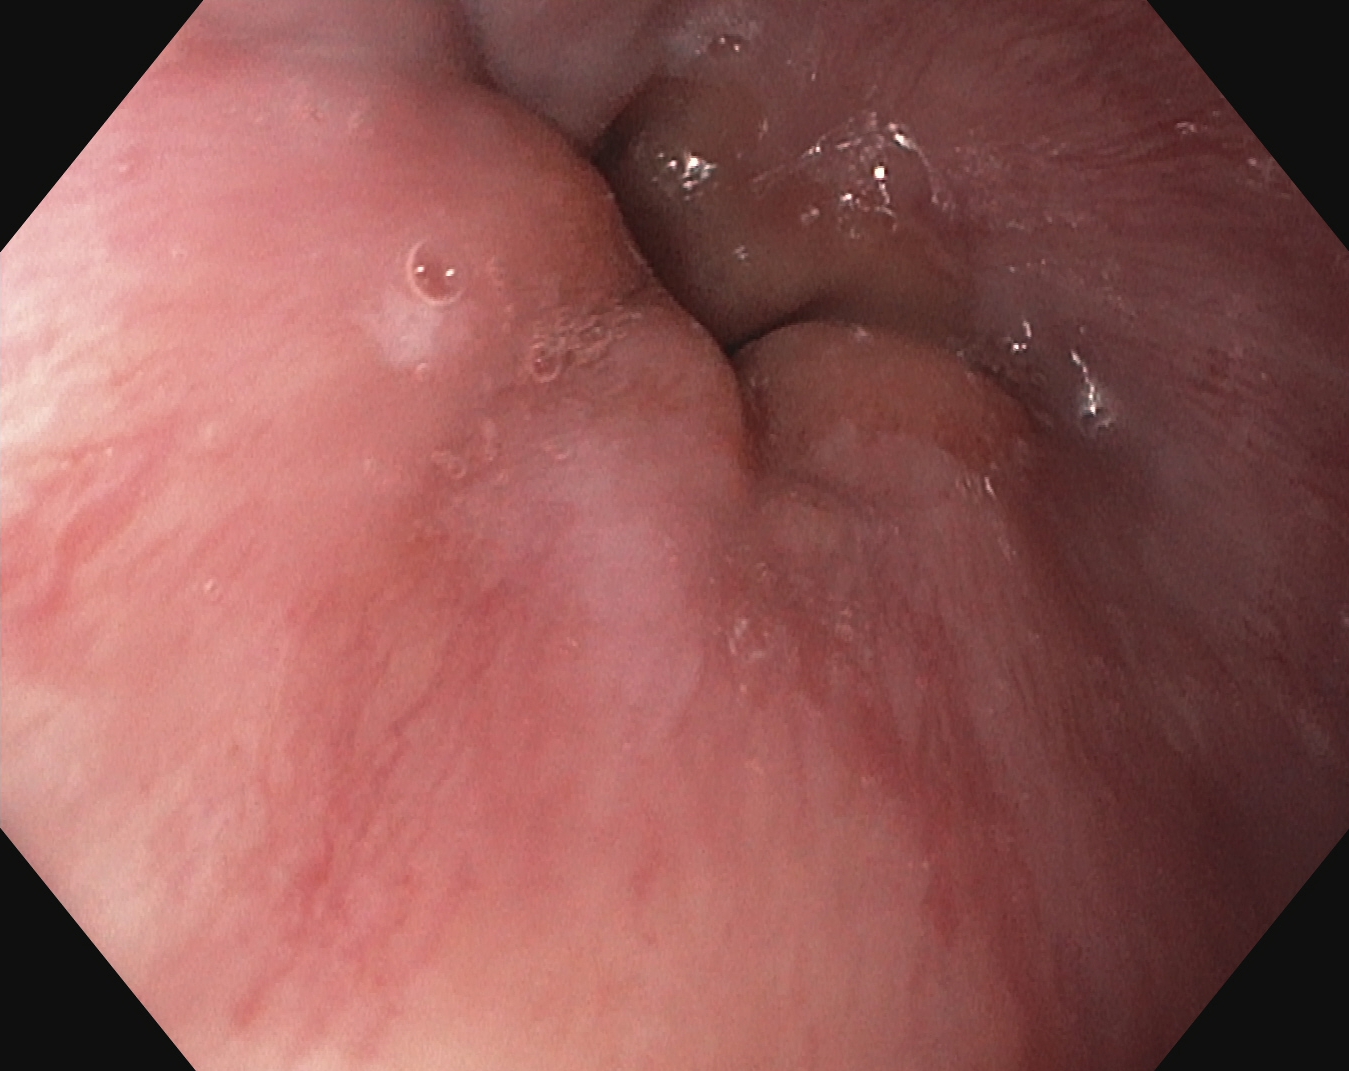modality: EGD
category: anatomical landmark
finding: Z-line (gastroesophageal junction)